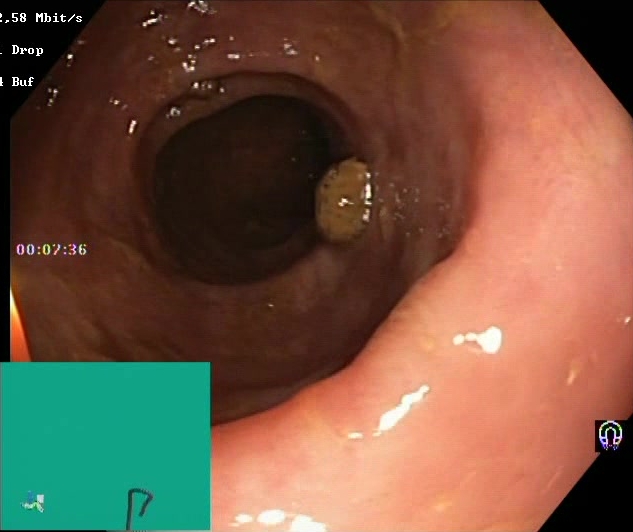{"modality": "colonoscopy", "tract": "lower GI tract", "finding": "Boston Bowel Preparation Scale score 2\u20133 (adequate preparation)"}